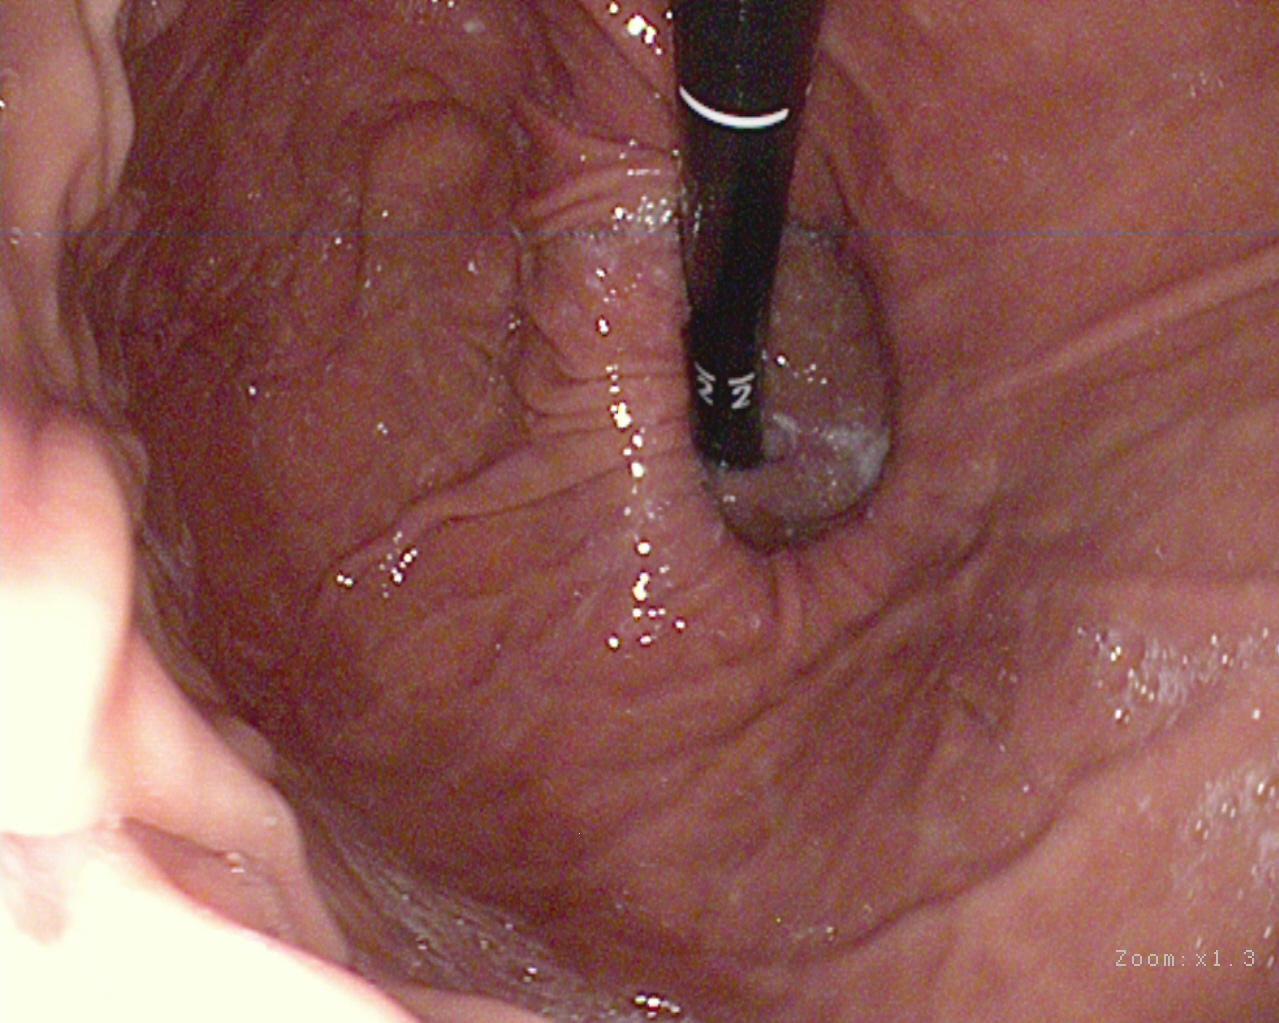Endoscopy image showing stomach in retroflexion.